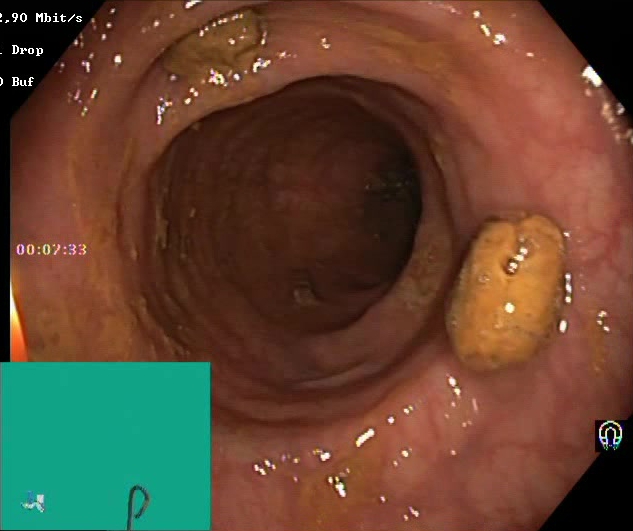Boston Bowel Preparation Scale score 2–3 (adequate preparation).